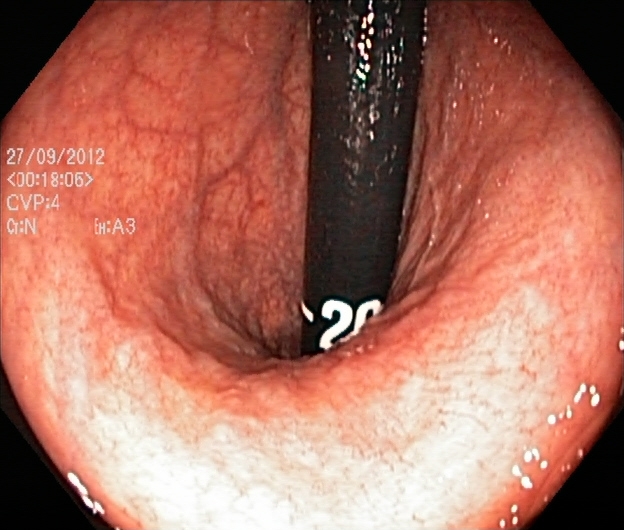Rectum in retroflexion.